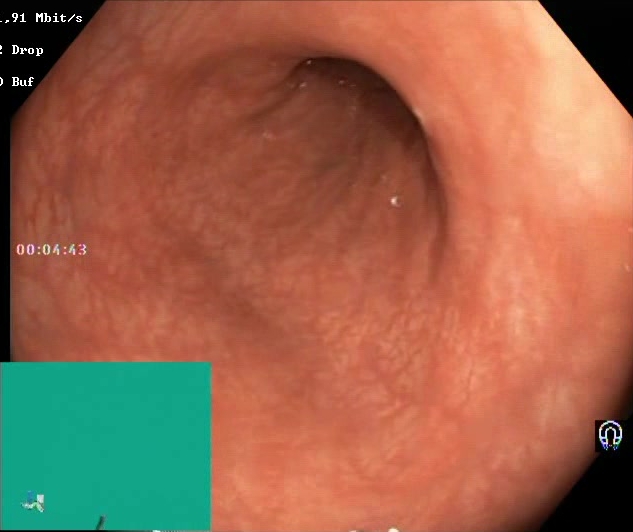This endoscopic image shows Boston Bowel Preparation Scale score 2–3 (adequate preparation).